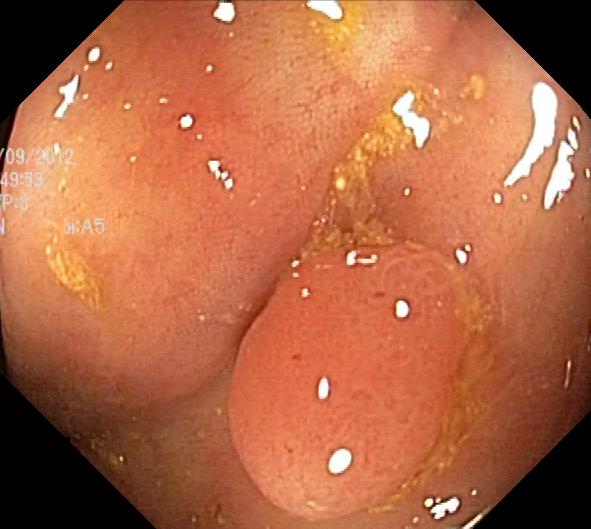Lower gastrointestinal endoscopy image of the lower GI tract showing colorectal polyp(s).